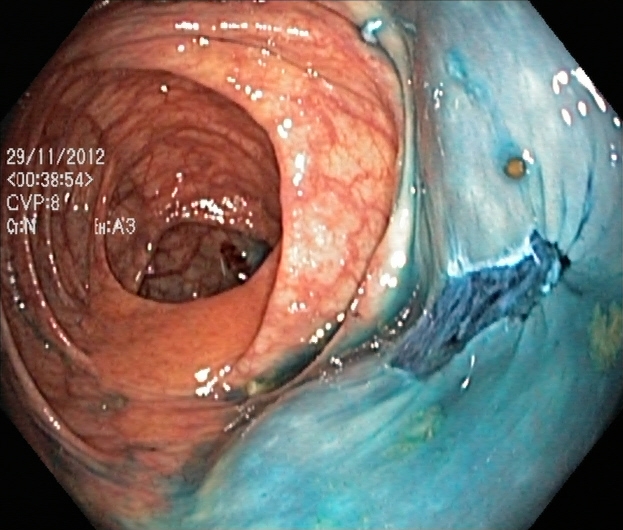Colonoscopy — dyed resection margins (post-polypectomy).